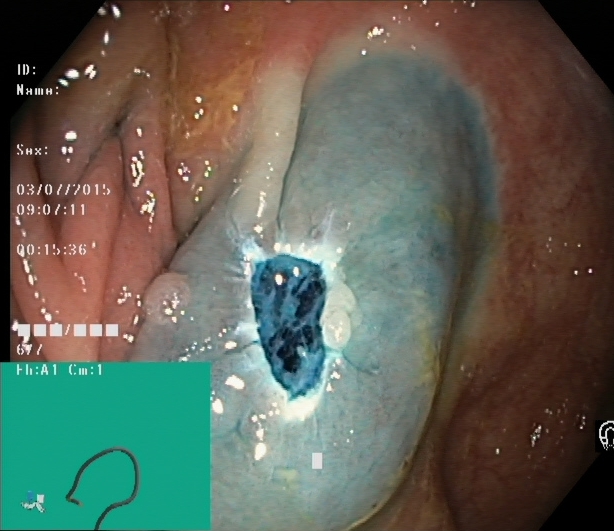Lower-GI endoscopy. Finding: dyed resection margins (post-polypectomy).